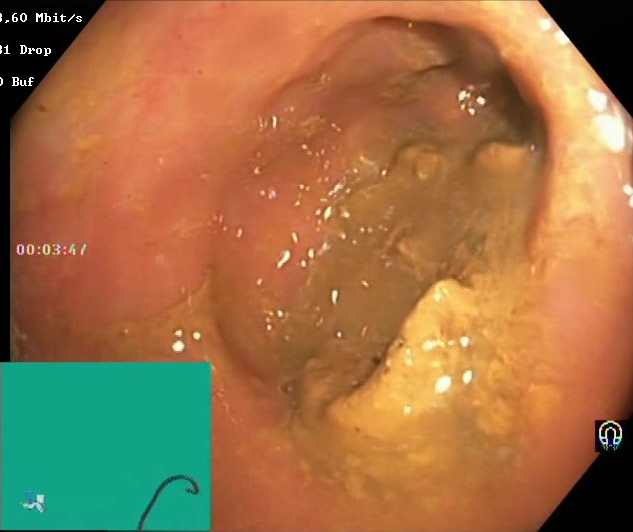This endoscopy frame shows BBPS score 0–1 (inadequate preparation).